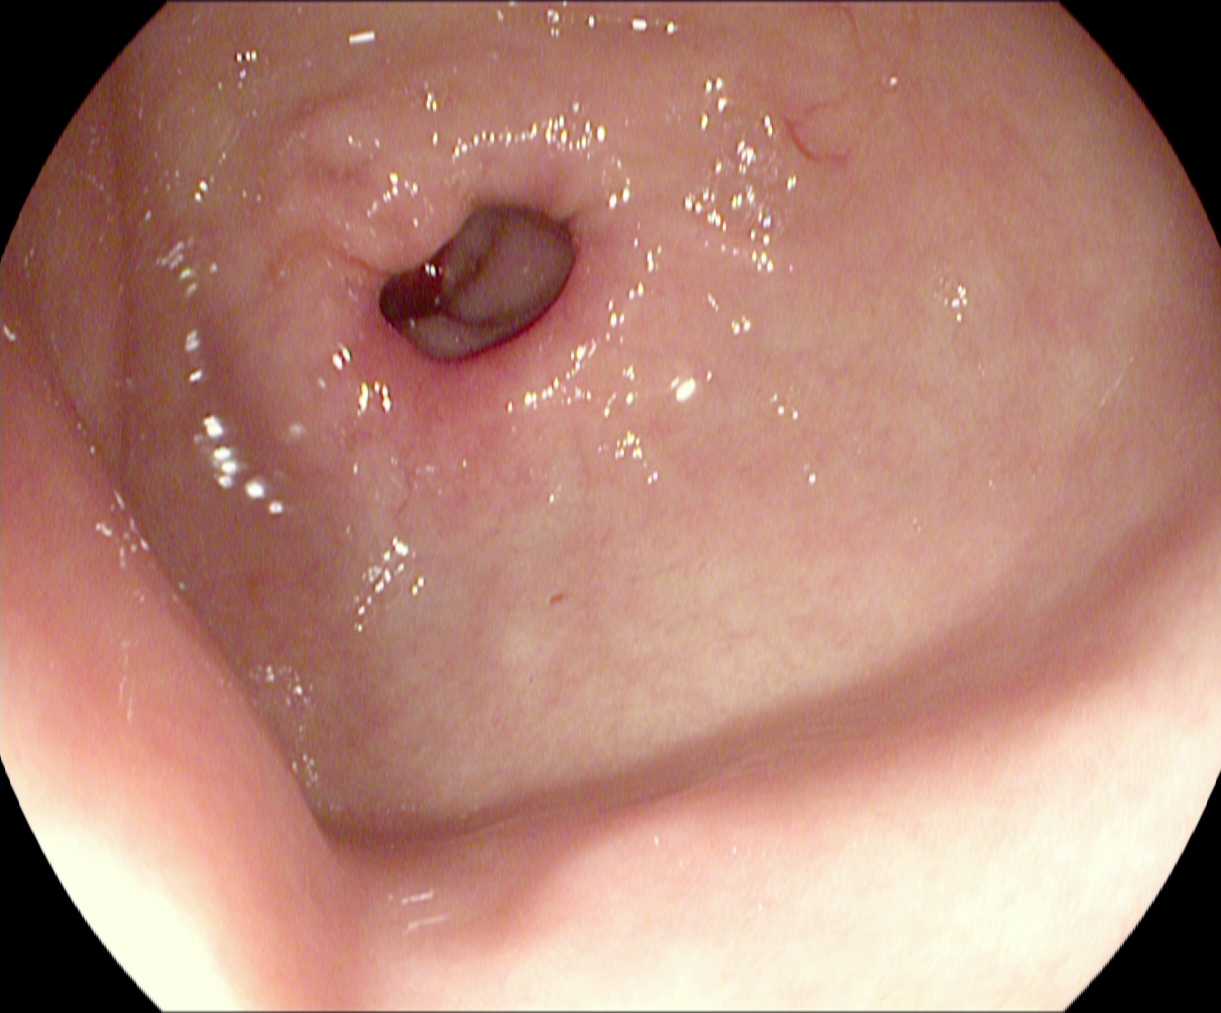{"modality": "esophagogastroduodenoscopy", "tract": "upper GI tract", "finding": "pylorus"}